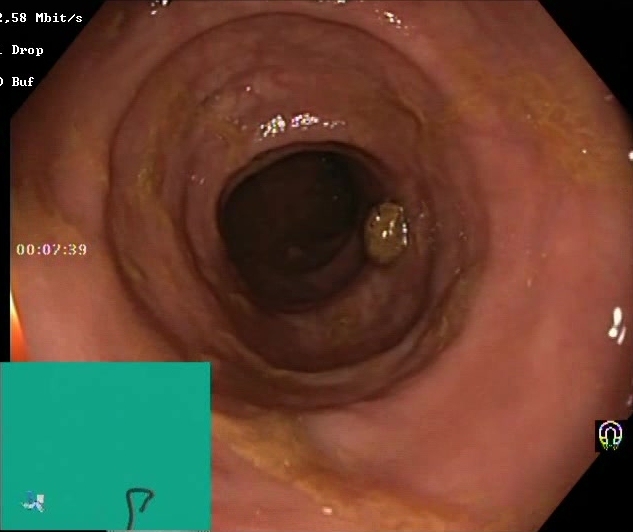Colonoscopy image showing Boston Bowel Preparation Scale score 2–3 (adequate preparation).